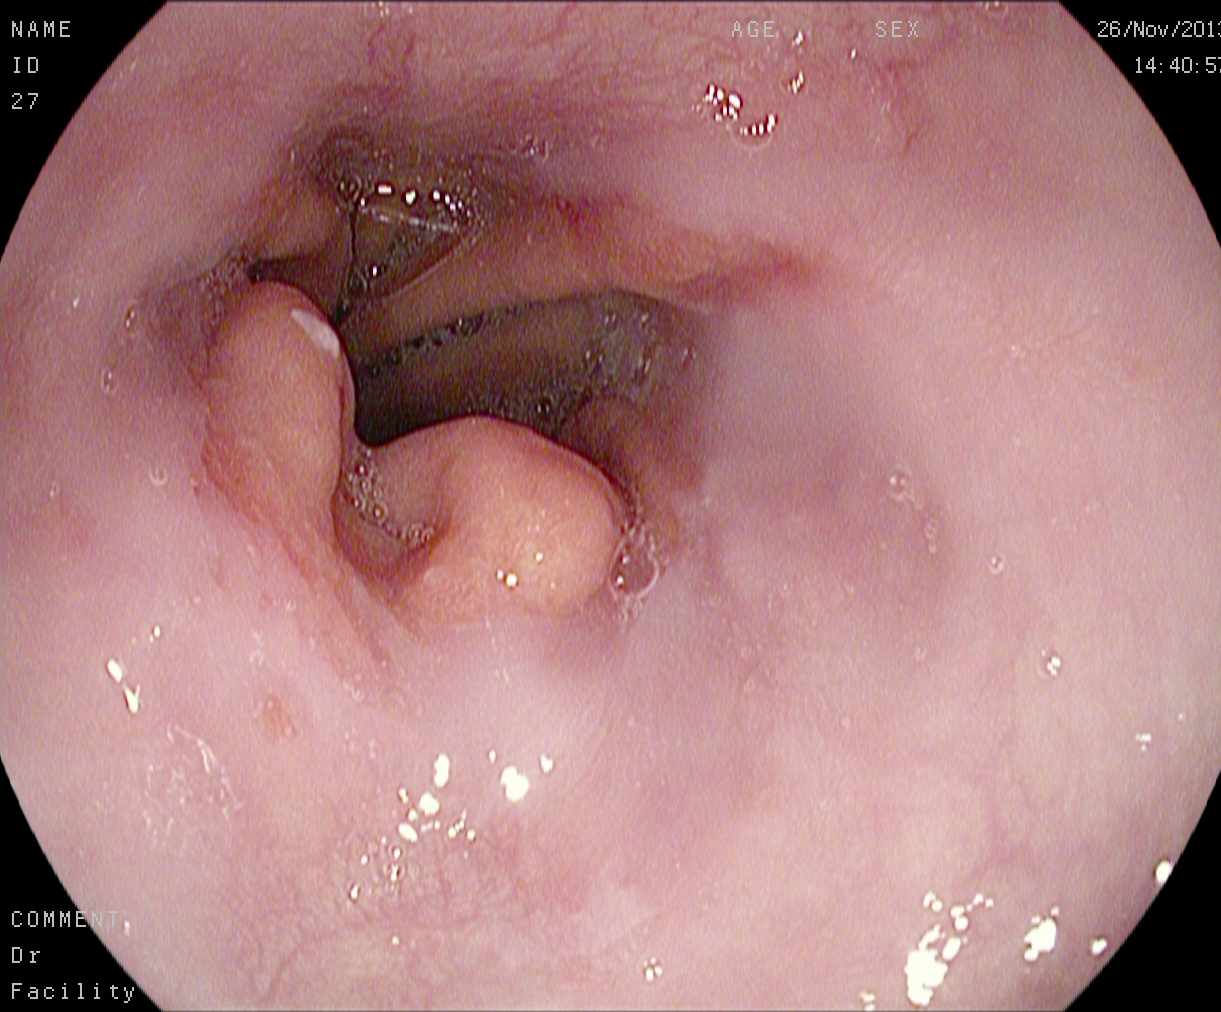Esophagogastroduodenoscopy. Finding: reflux esophagitis, Los Angeles grade A.